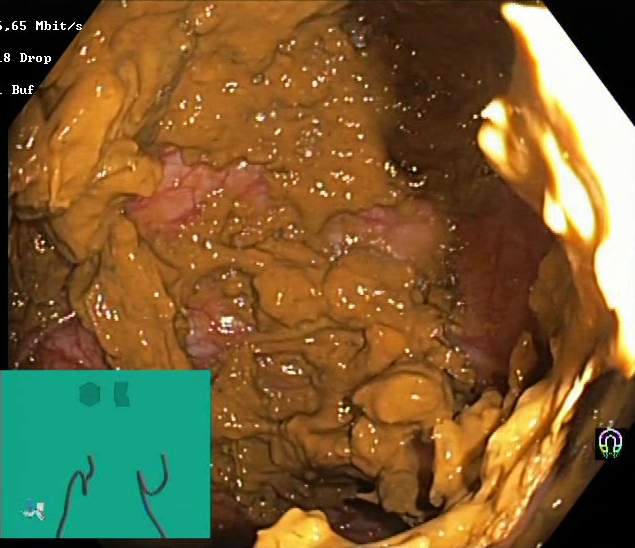Lower-GI endoscopy. Tract: lower GI tract. Mucosal-view quality. Finding: Boston Bowel Preparation Scale score 0–1 (inadequate preparation).